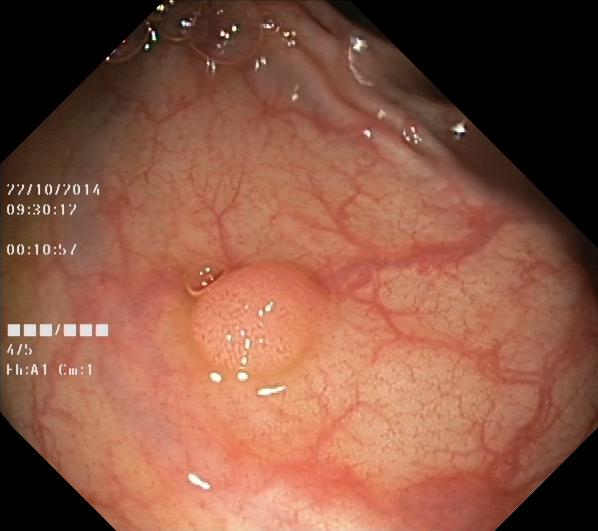PROCEDURE: Colonoscopy.
FINDINGS: Colorectal polyp(s).